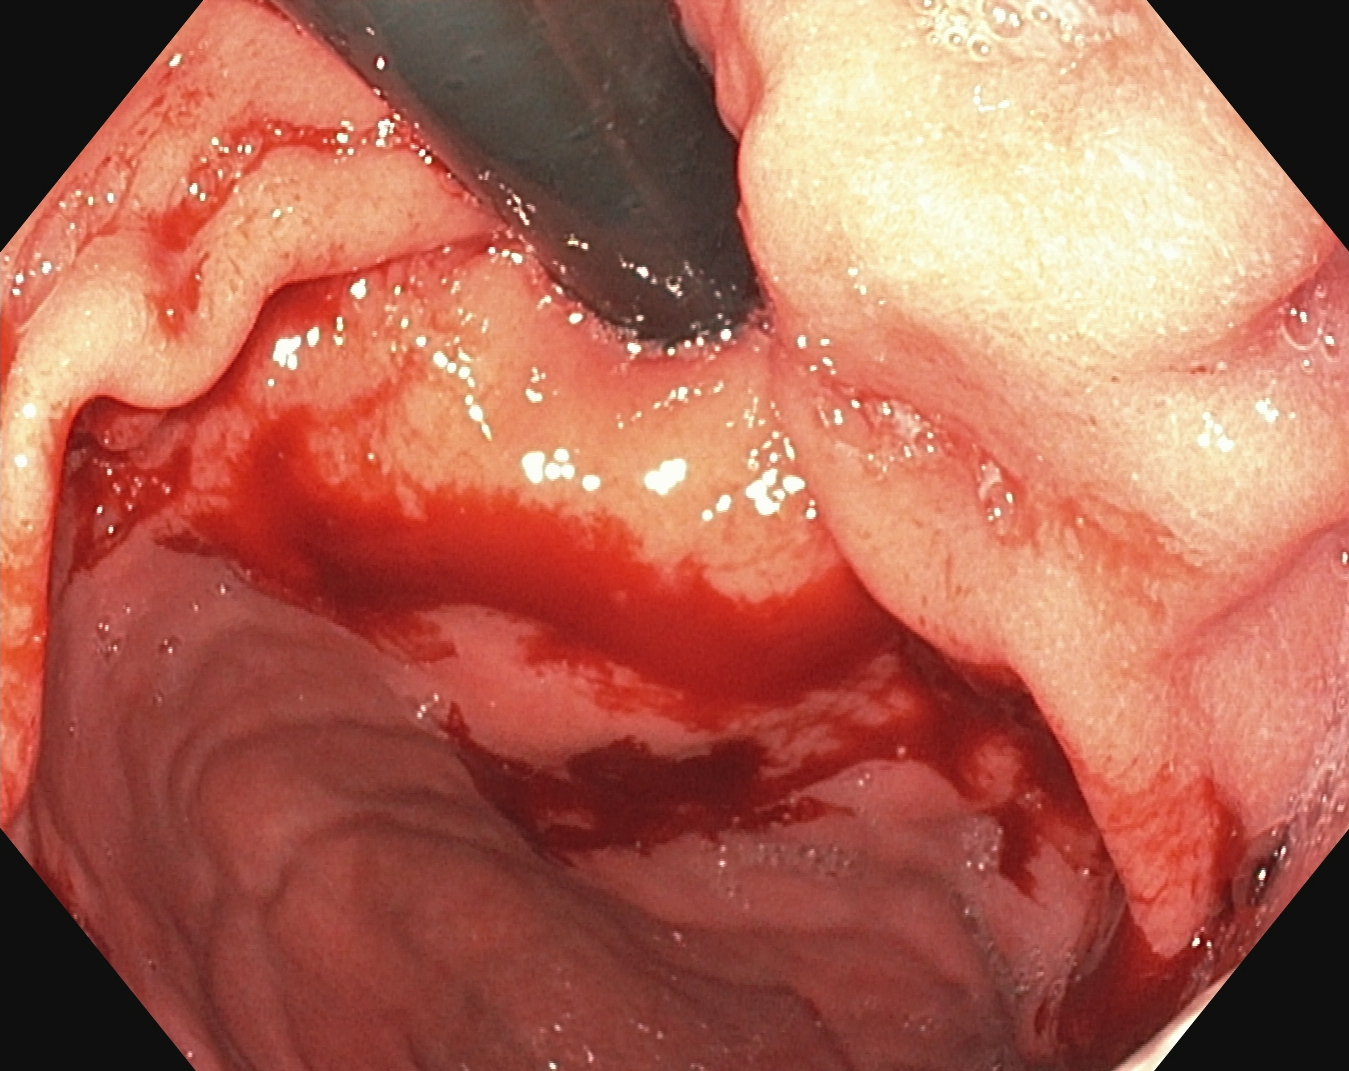Stomach in retroflexion.